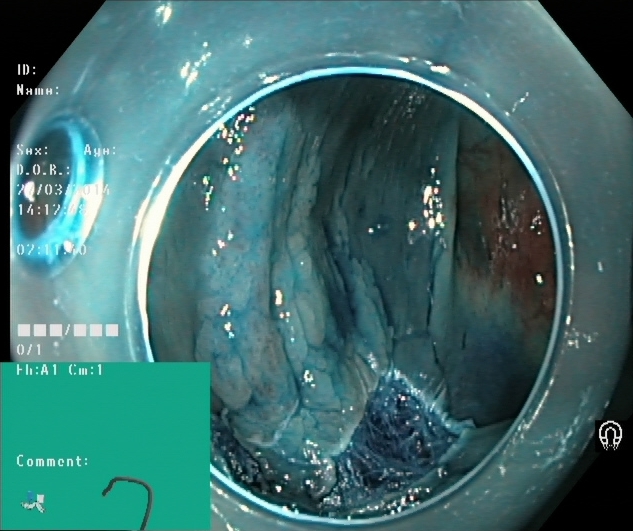{"modality": "lower gastrointestinal endoscopy", "tract": "lower GI tract", "finding": "dyed resection margins (post-polypectomy)"}